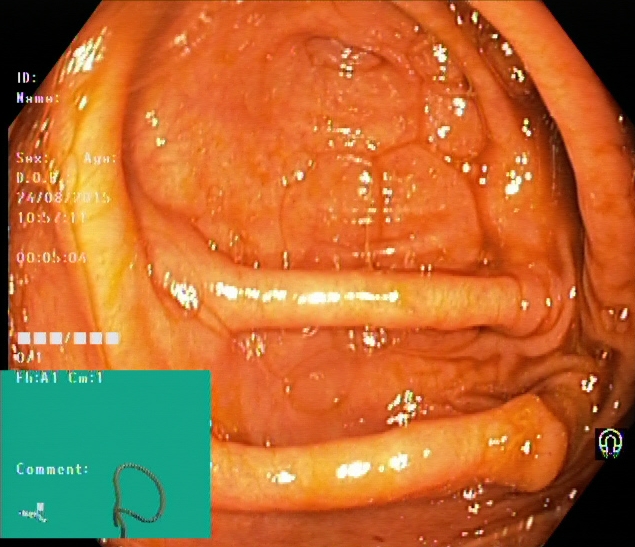modality: colonoscopy
category: anatomical landmark
finding: cecum